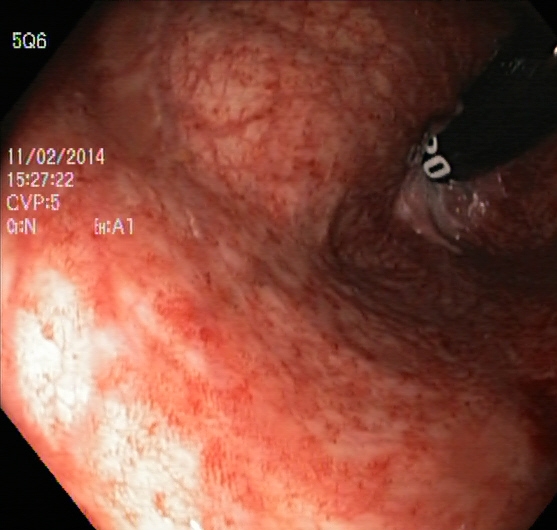This endoscopic image of the lower GI tract shows rectum in retroflexion.